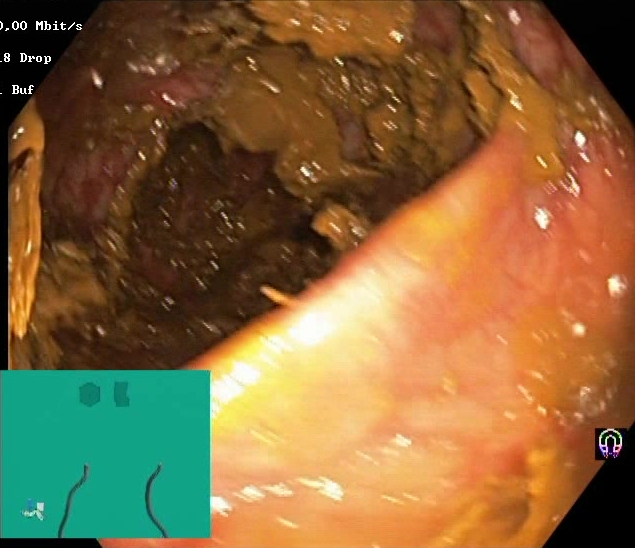PROCEDURE: Colonoscopy.
FINDINGS: Boston Bowel Preparation Scale score 0–1 (inadequate preparation).